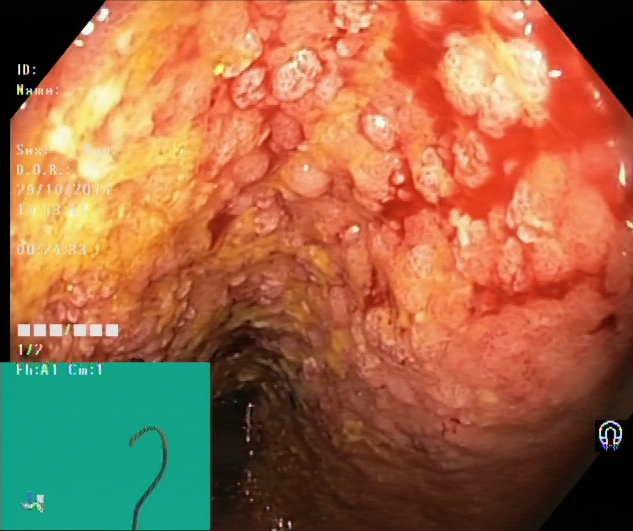Endoscopy image showing ulcerative colitis, Mayo endoscopic subscore 3.